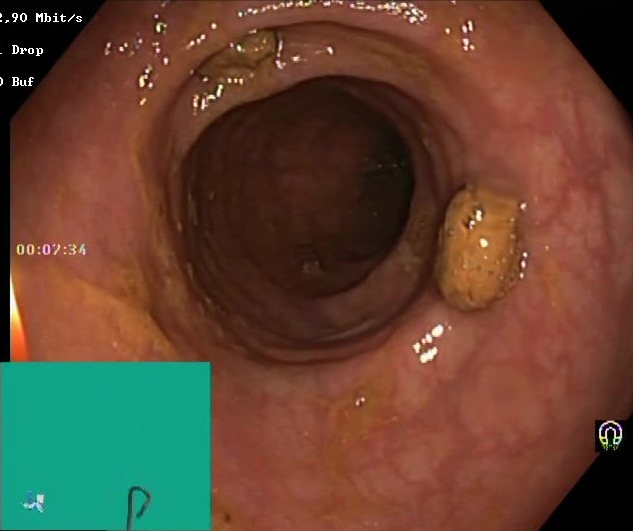{"modality": "colonoscopy", "tract": "lower GI tract", "finding": "BBPS score 2\u20133 (adequate preparation)"}